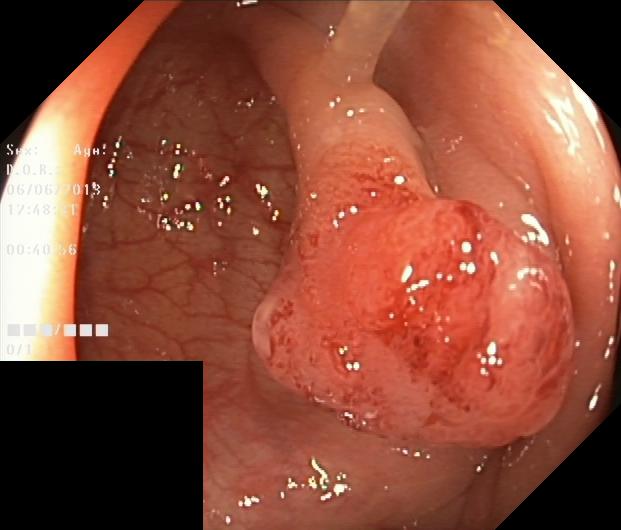colorectal polyp(s).